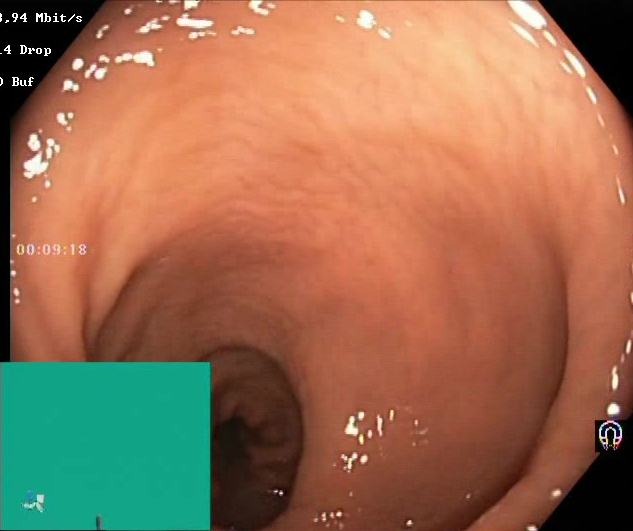Colonoscopy. Tract: lower GI tract. Mucosal-view quality. Finding: BBPS score 2–3 (adequate preparation).